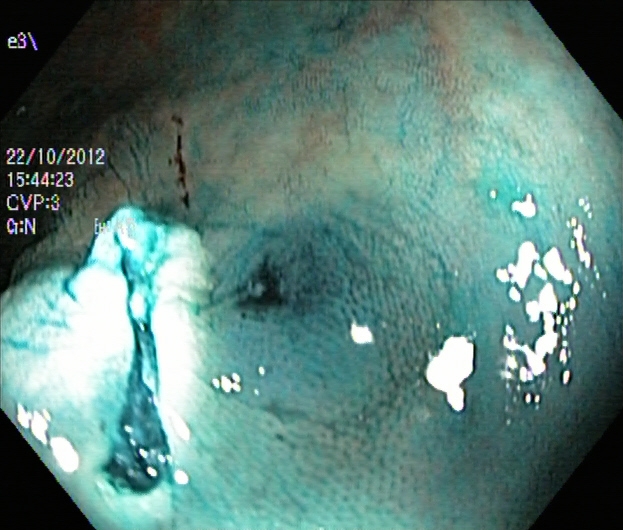Lower gastrointestinal endoscopy. Tract: lower GI tract. Therapeutic intervention. Finding: dyed resection margins (post-polypectomy).